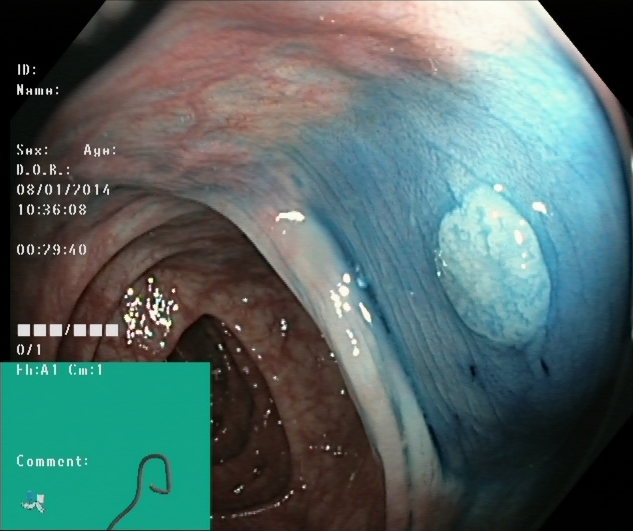PROCEDURE: Colonoscopy.
FINDINGS: Dyed and lifted polyp (pre-resection).